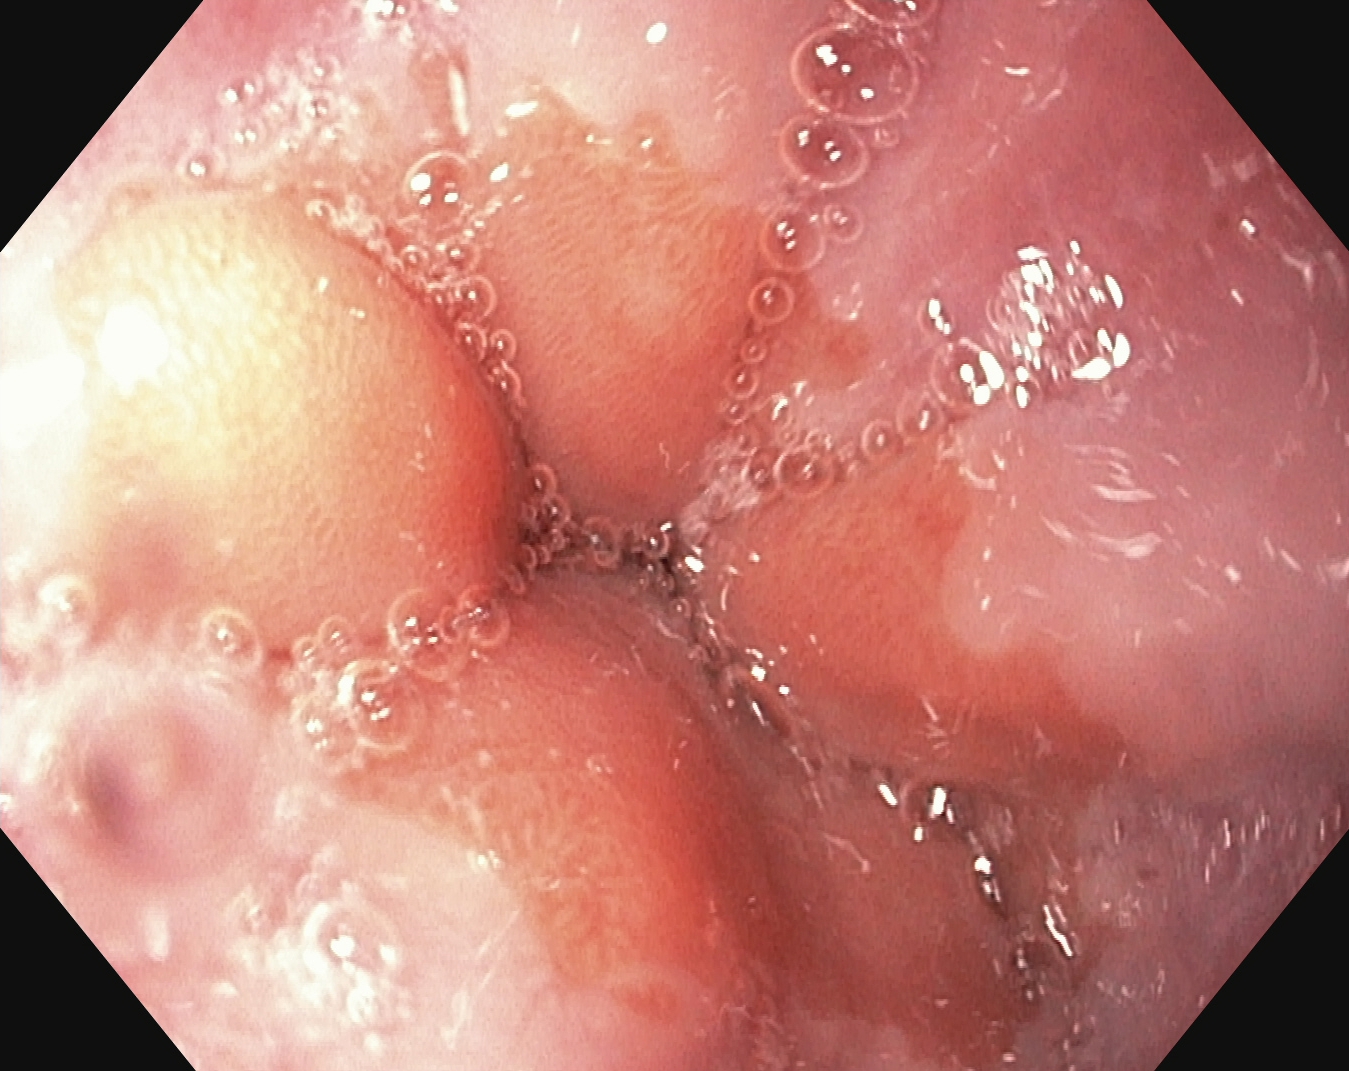Esophagogastroduodenoscopy. Tract: upper GI tract. Anatomical landmark. Finding: Z-line (gastroesophageal junction).